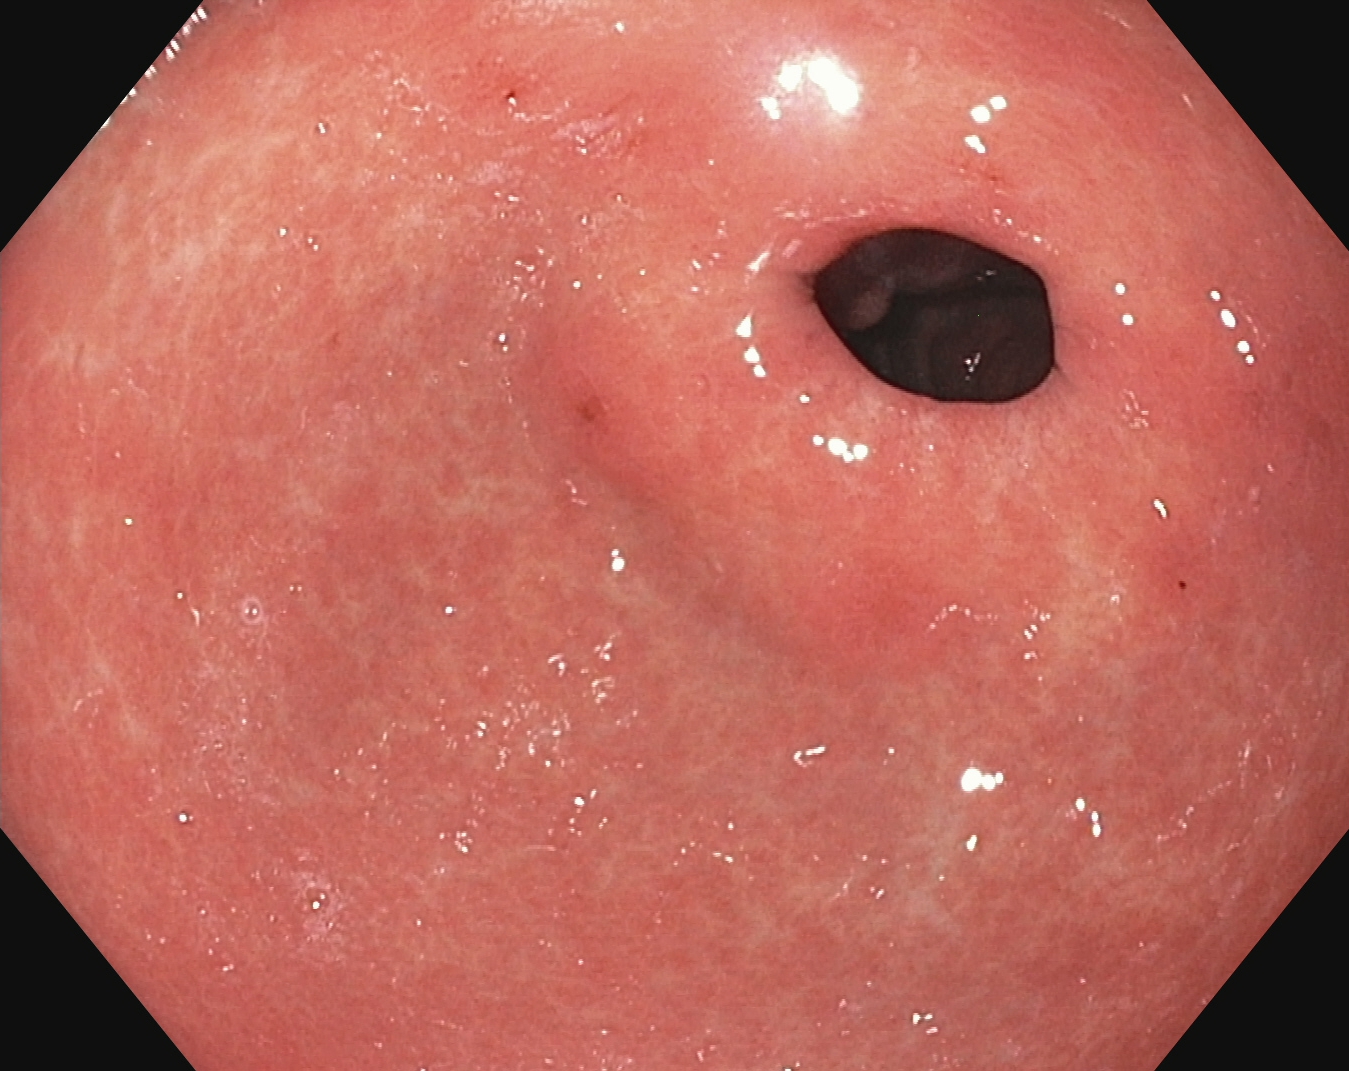This endoscopy frame shows pylorus.